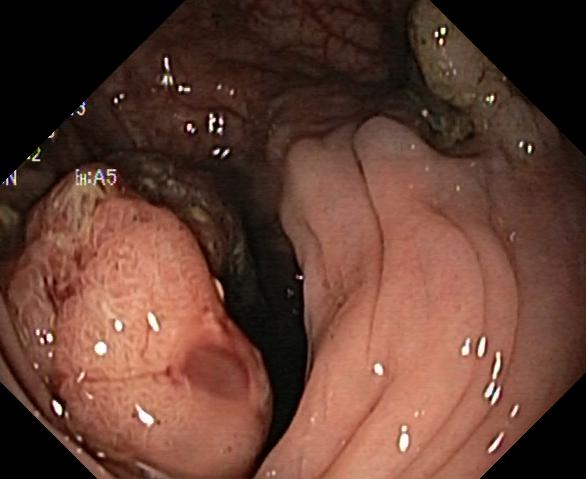This endoscopy frame of the lower GI tract shows colorectal polyp(s).